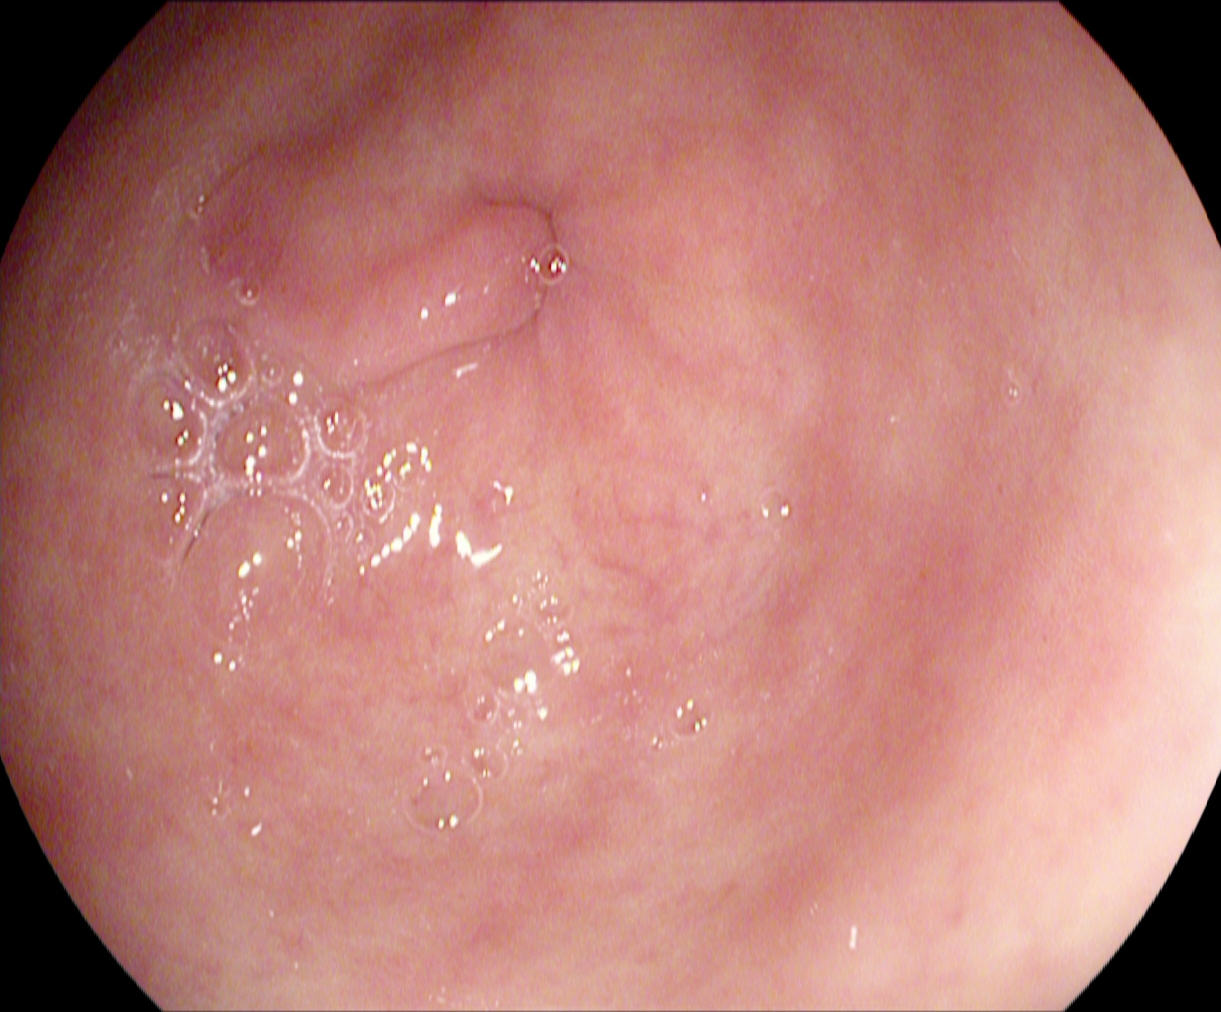{"modality": "EGD", "tract": "upper GI tract", "finding": "pylorus"}